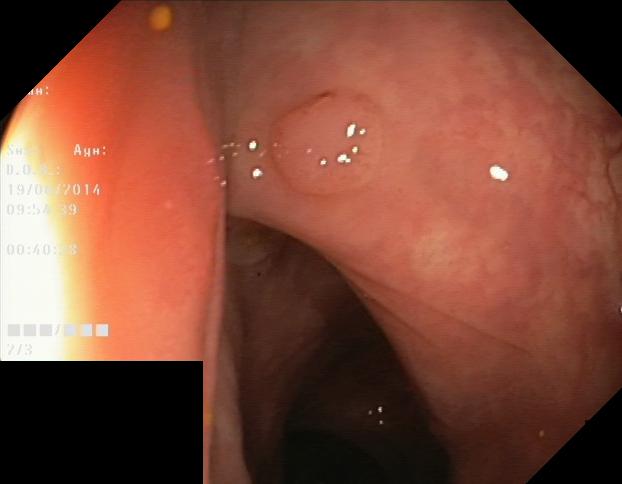{"modality": "lower-GI endoscopy", "category": "pathological finding", "finding": "colorectal polyp(s)"}